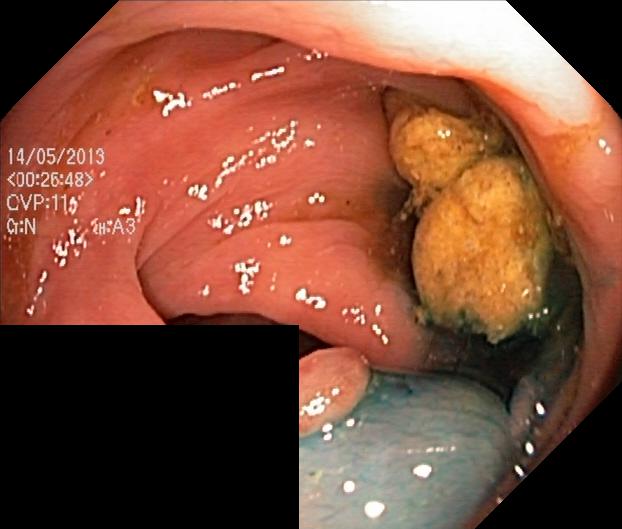PROCEDURE: Colonoscopy.
FINDINGS: Colorectal polyp(s).